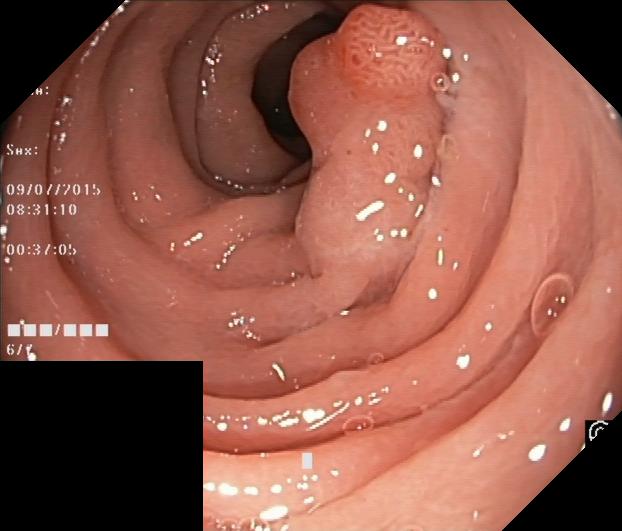Colorectal polyp(s).